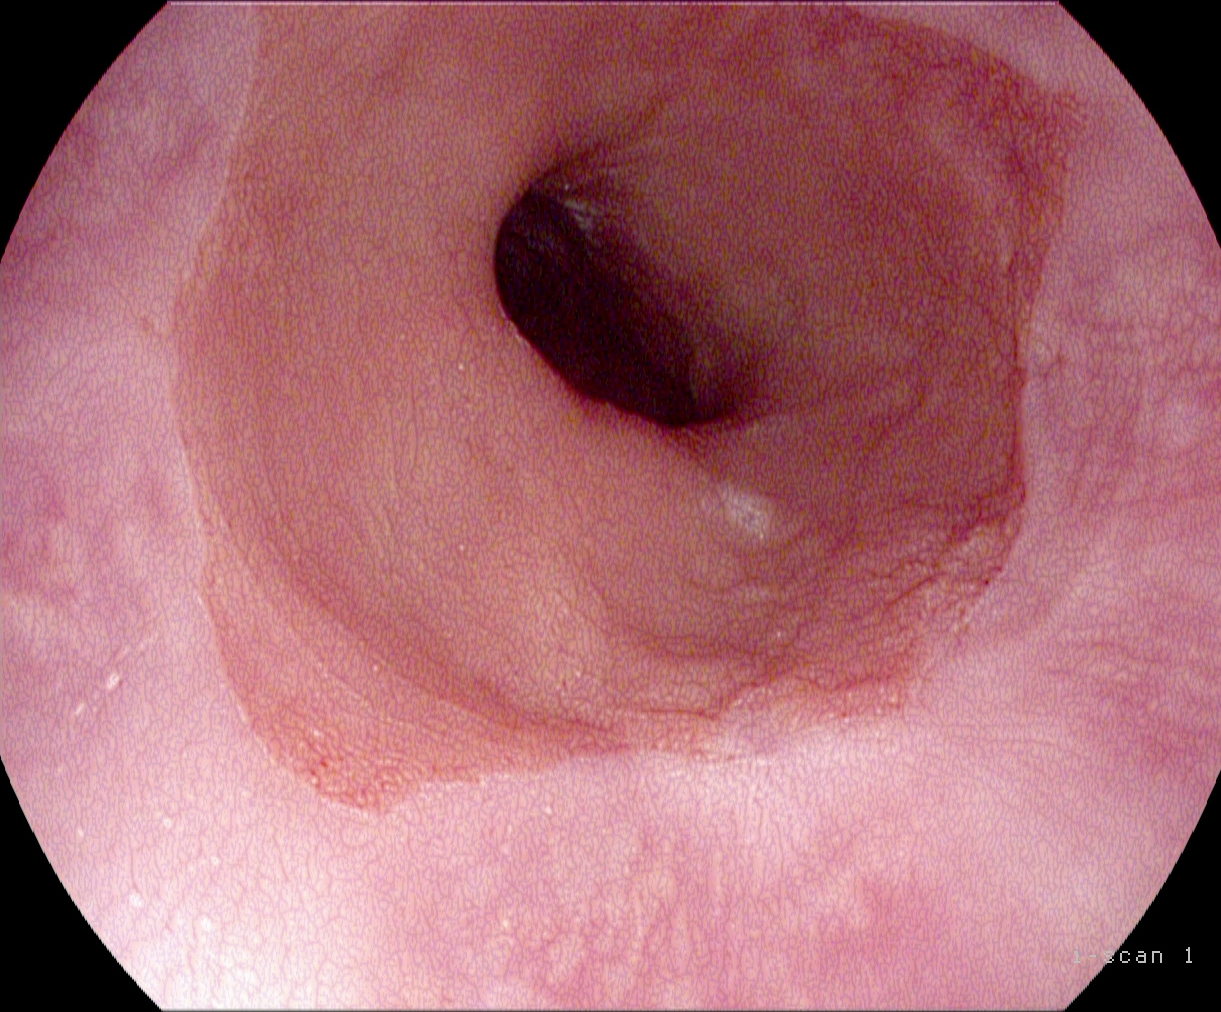Barrett's esophagus, short segment.